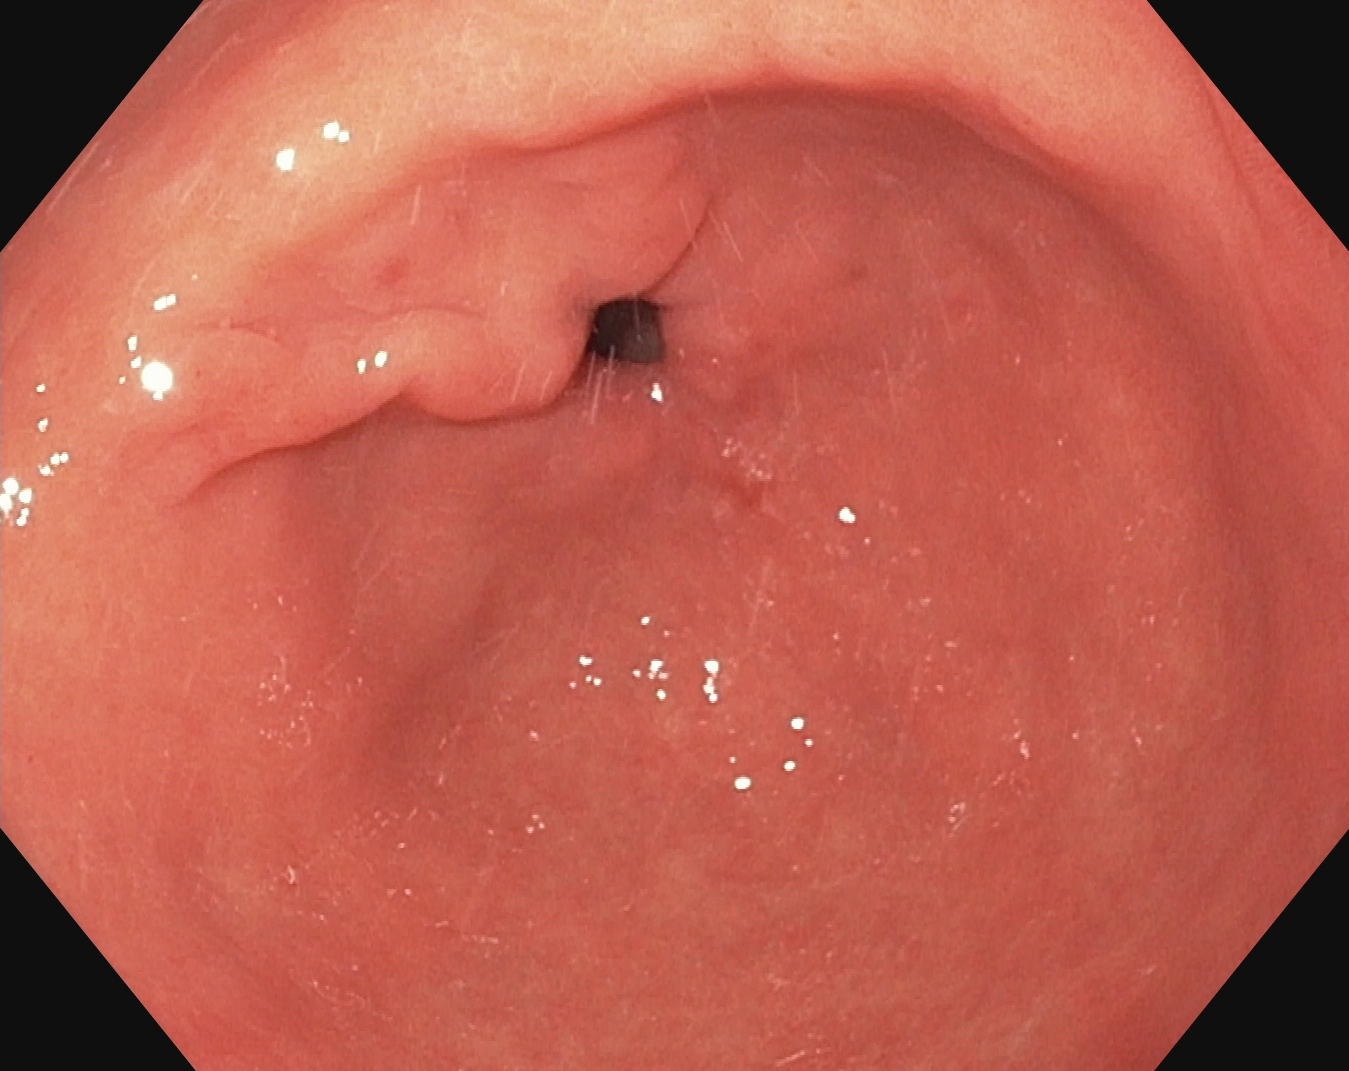Esophagogastroduodenoscopy. Finding: pylorus.